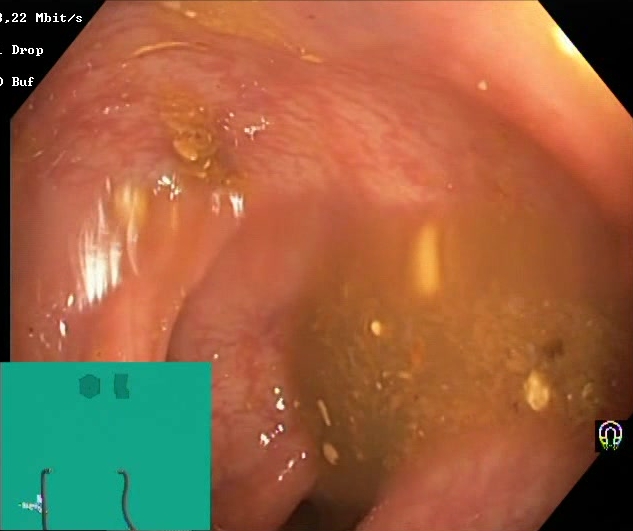This endoscopic image of the lower GI tract shows Boston Bowel Preparation Scale score 0–1 (inadequate preparation).